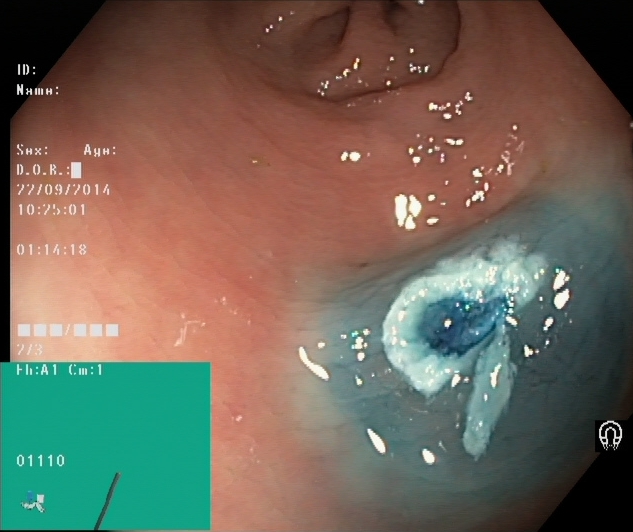This endoscopic image shows dyed resection margins (post-polypectomy).